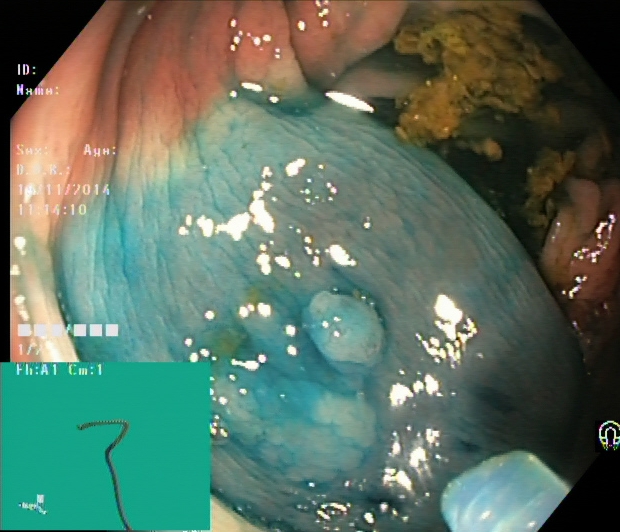modality: colonoscopy; tract: lower GI tract; finding: dyed and lifted polyp (pre-resection)